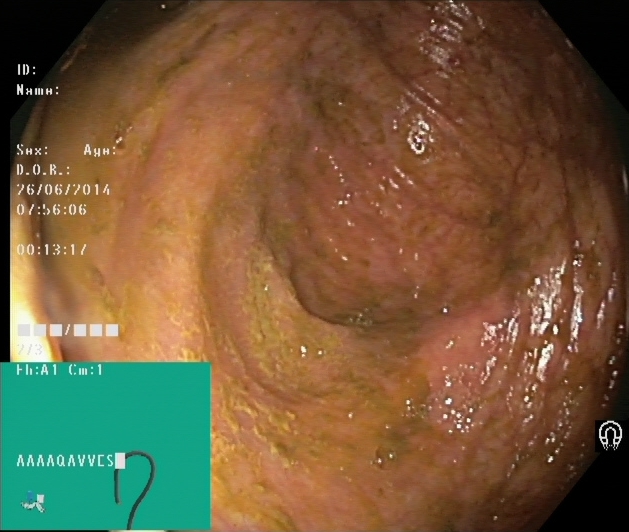modality: lower gastrointestinal endoscopy; tract: lower GI tract; category: anatomical landmark; finding: cecum